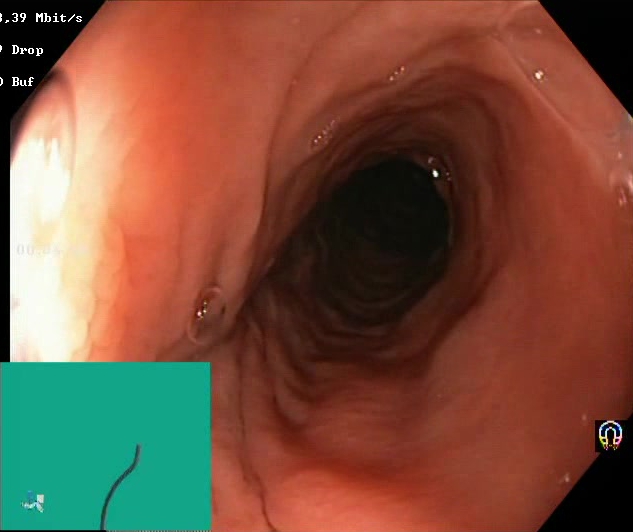Boston Bowel Preparation Scale score 2–3 (adequate preparation).